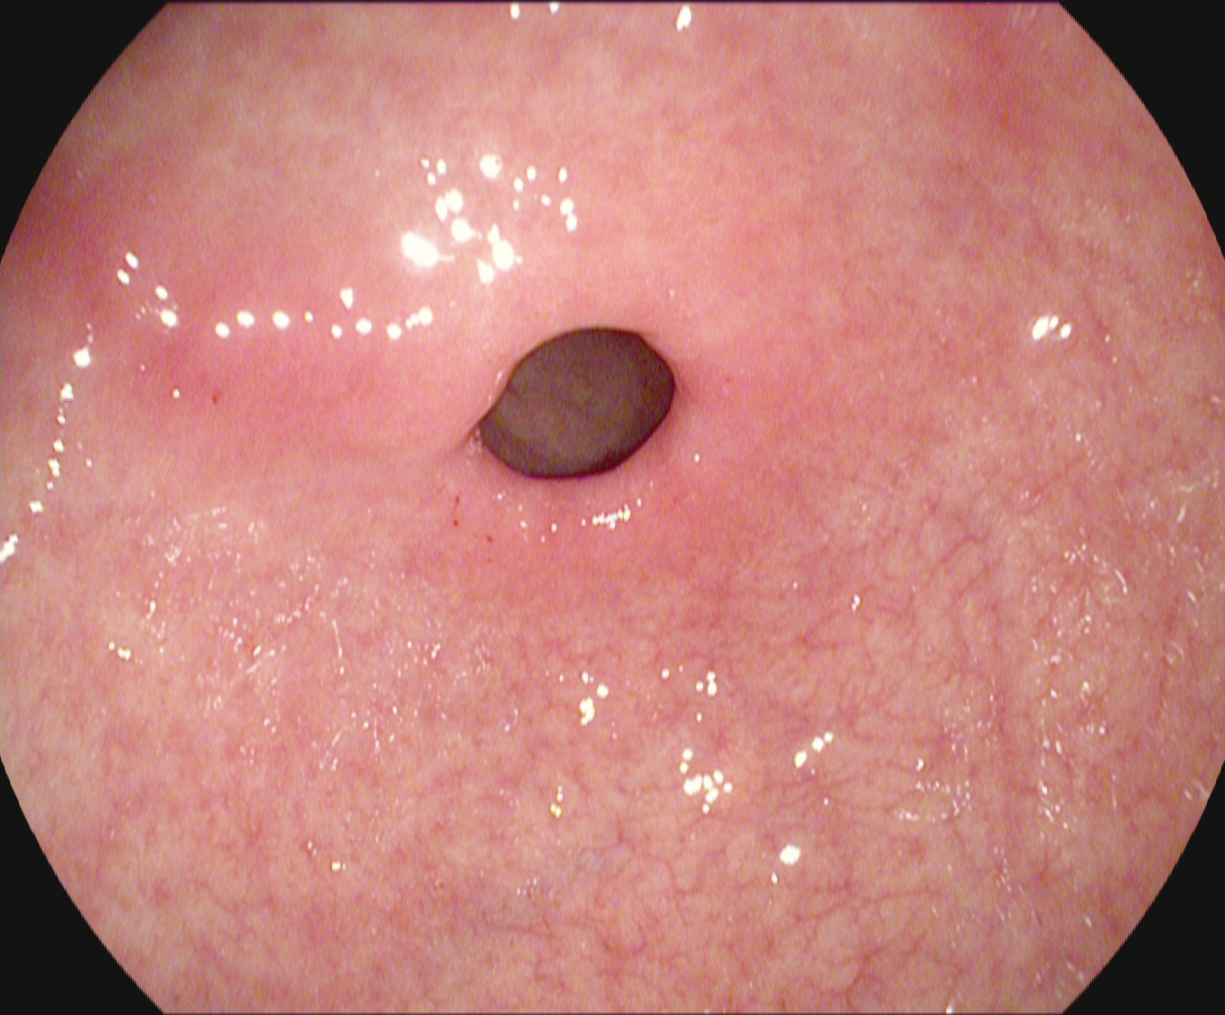Esophagogastroduodenoscopy. Anatomical landmark. Finding: pylorus.